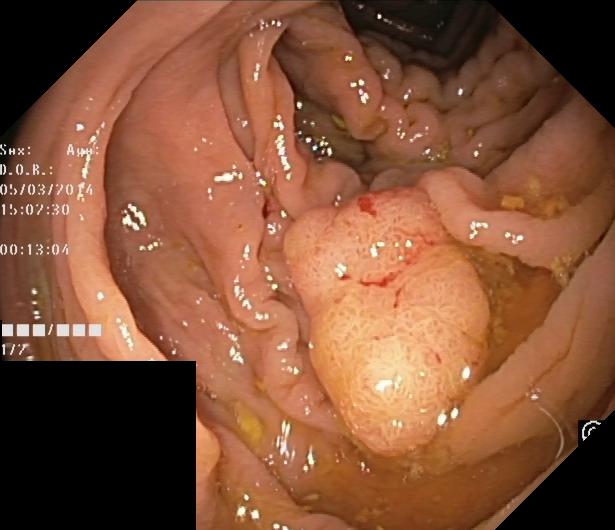Lower-GI endoscopy — colorectal polyp(s).